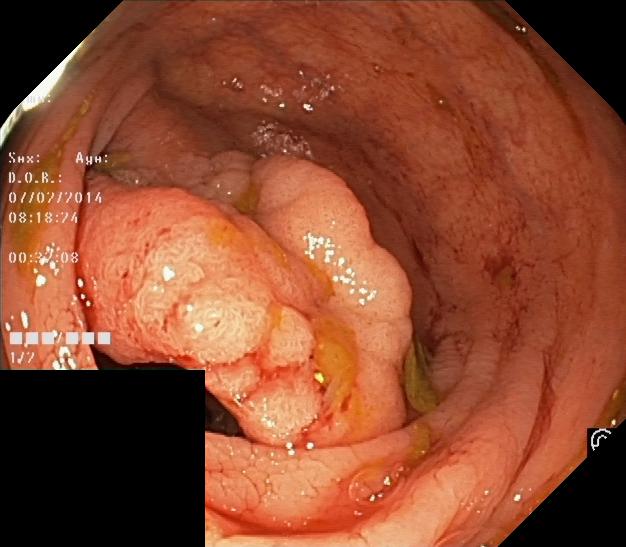Lower-GI endoscopy. Tract: lower GI tract. Finding: colorectal polyp(s).